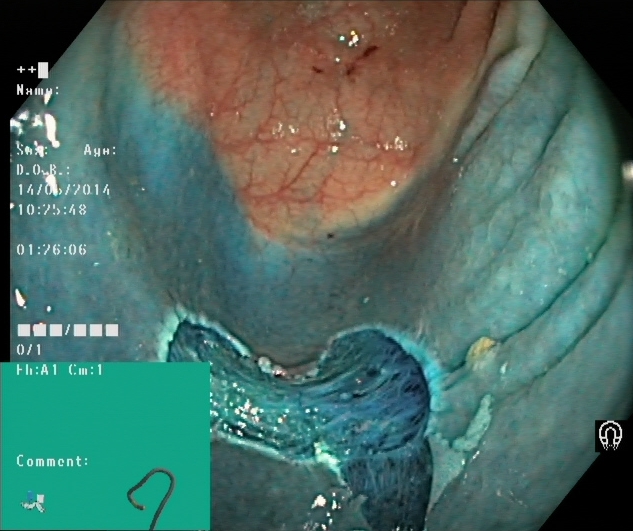This endoscopic image of the lower GI tract shows dyed resection margins (post-polypectomy).